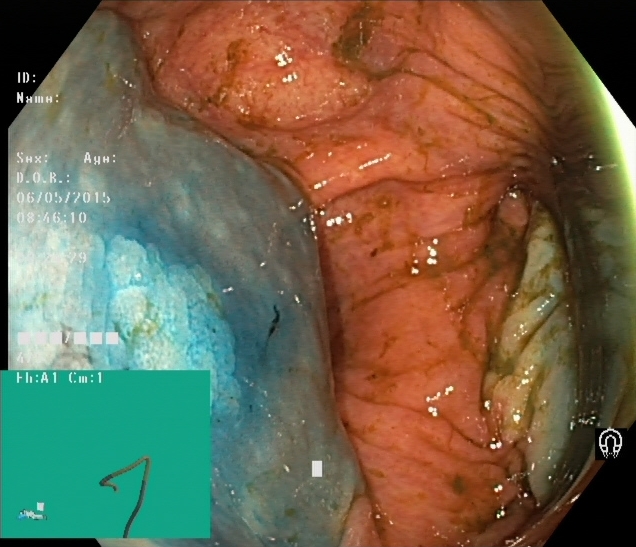Endoscopic image showing dyed and lifted polyp (pre-resection).